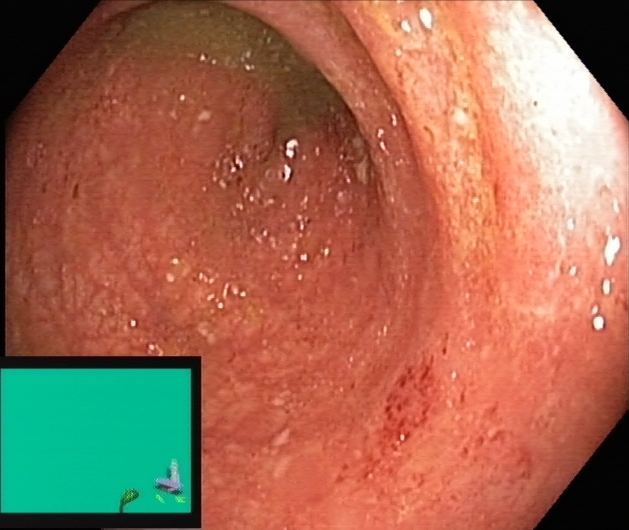PROCEDURE: Lower-GI endoscopy.
FINDINGS: UC, Mayo endoscopic subscore 1.